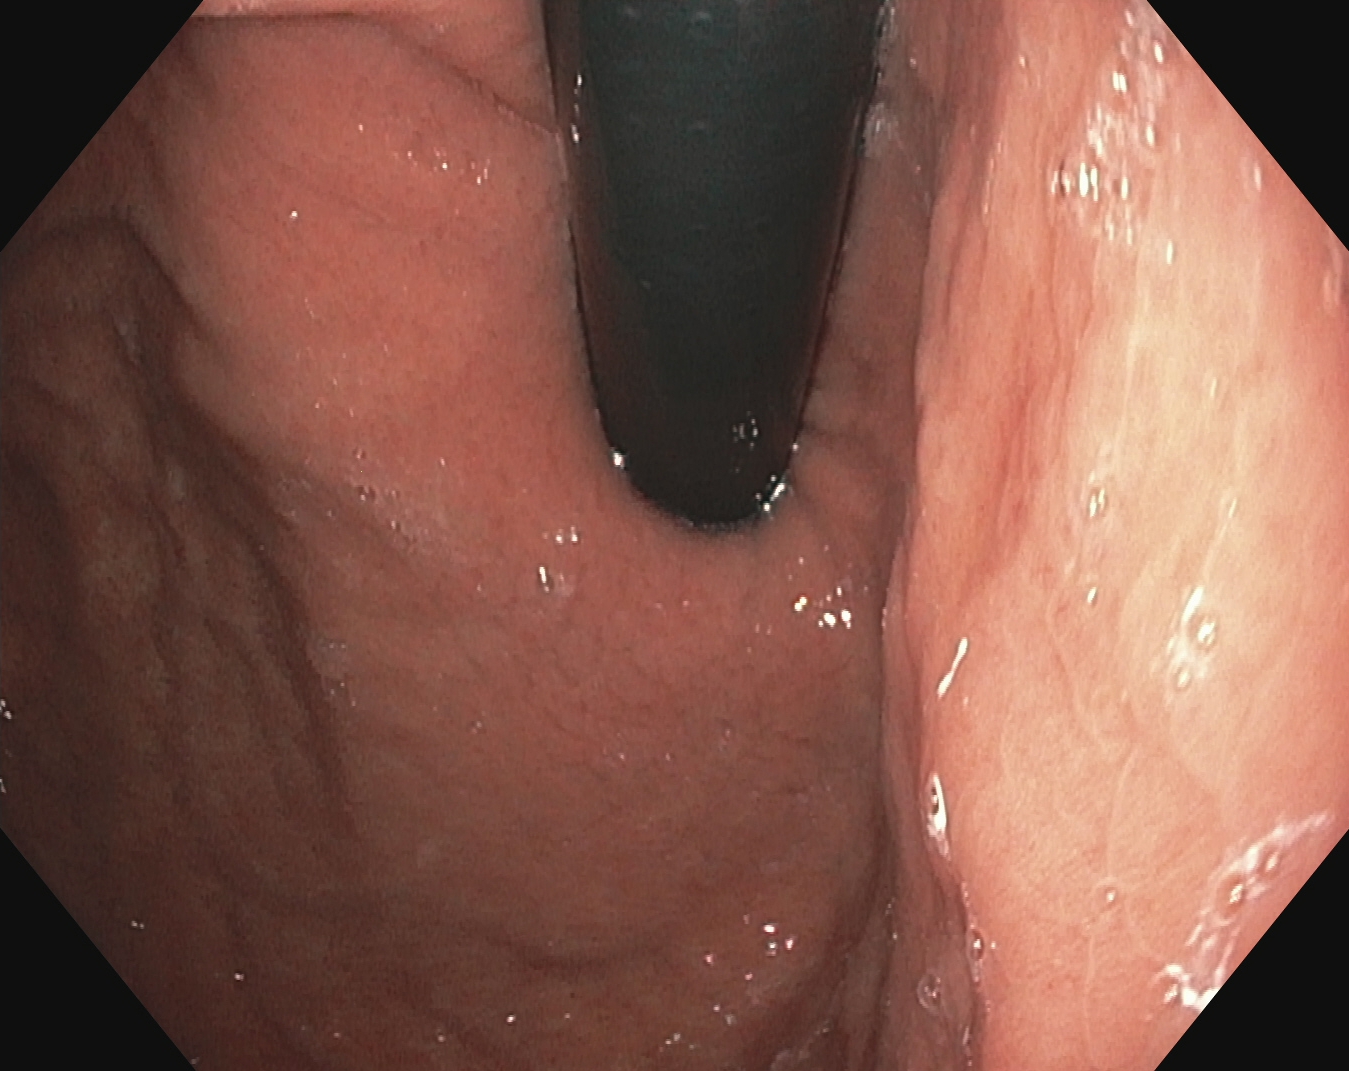This endoscopic image of the upper GI tract shows stomach in retroflexion.